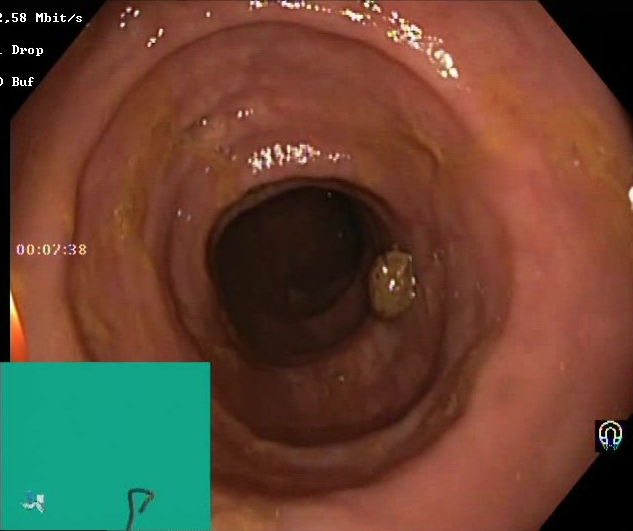Endoscopic frame showing Boston Bowel Preparation Scale score 2–3 (adequate preparation).